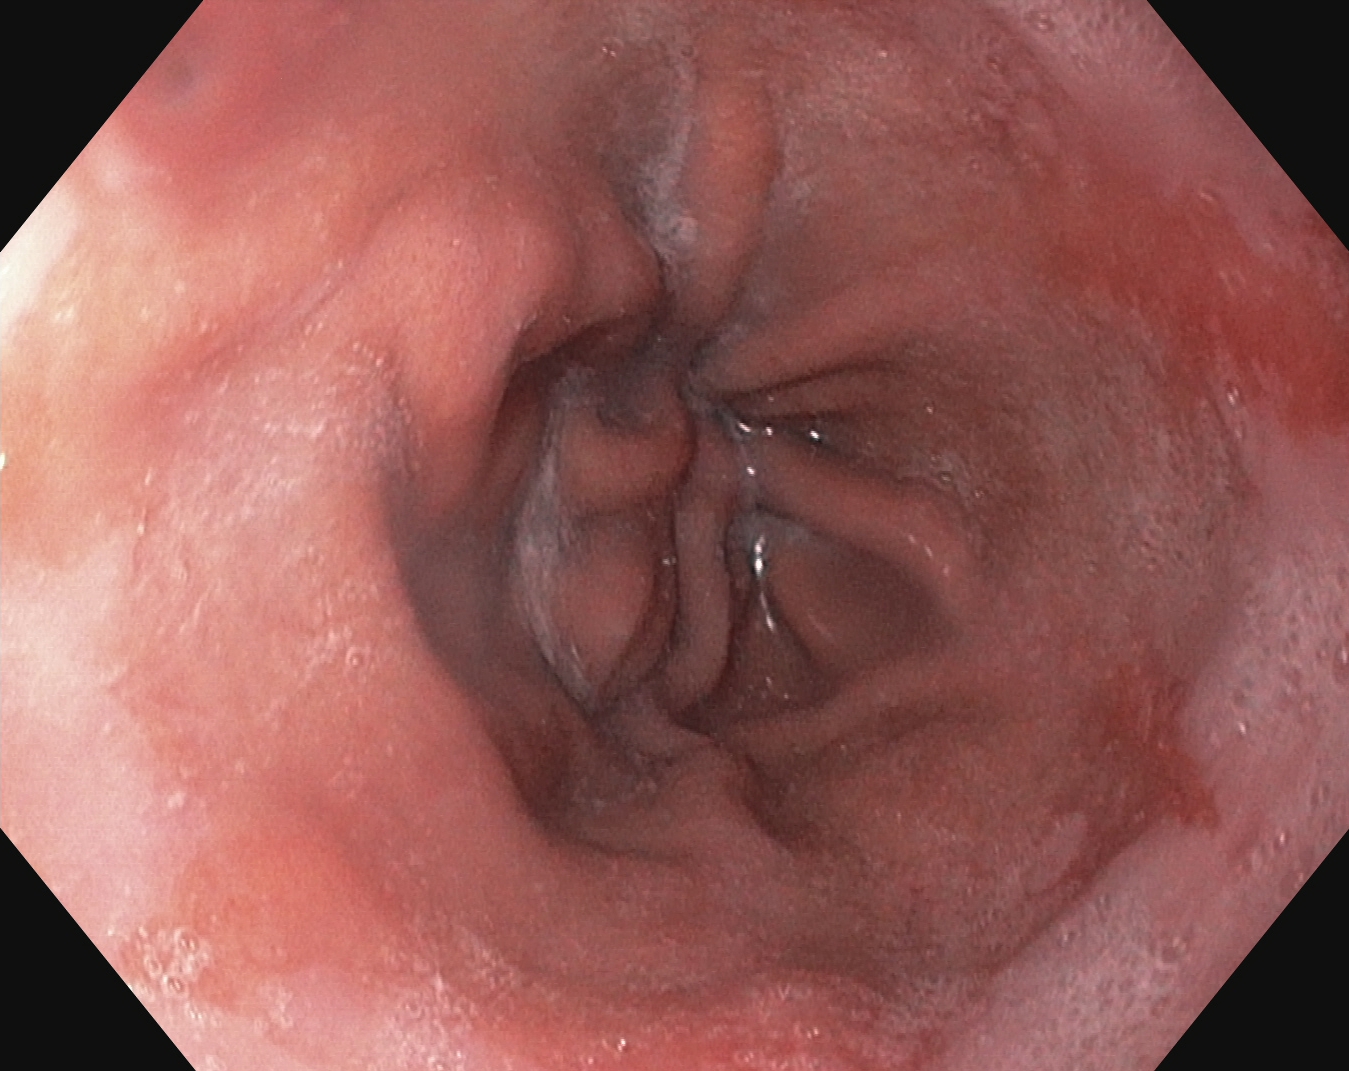Gastrointestinal endoscopy image showing reflux esophagitis, LA grade A.